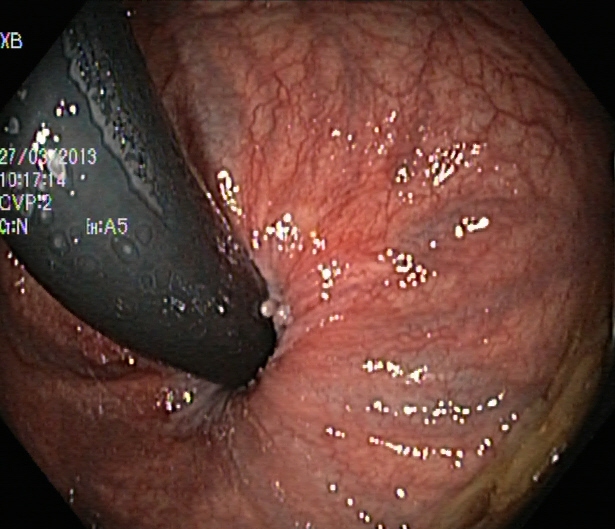Rectum in retroflexion.